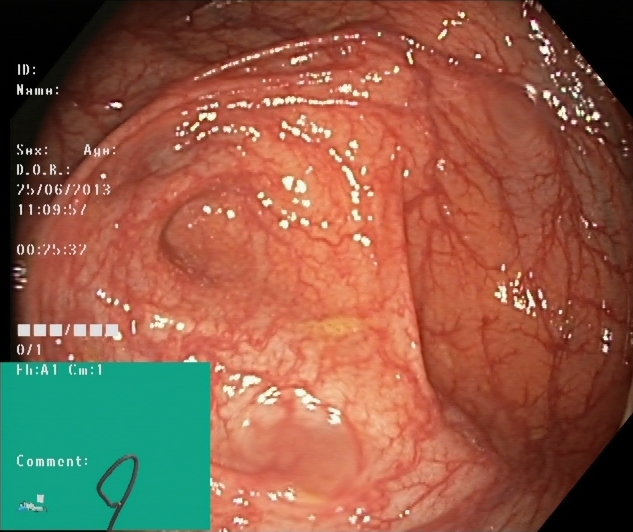PROCEDURE: Lower-GI endoscopy.
CATEGORY: Anatomical landmark.
FINDINGS: Cecum.